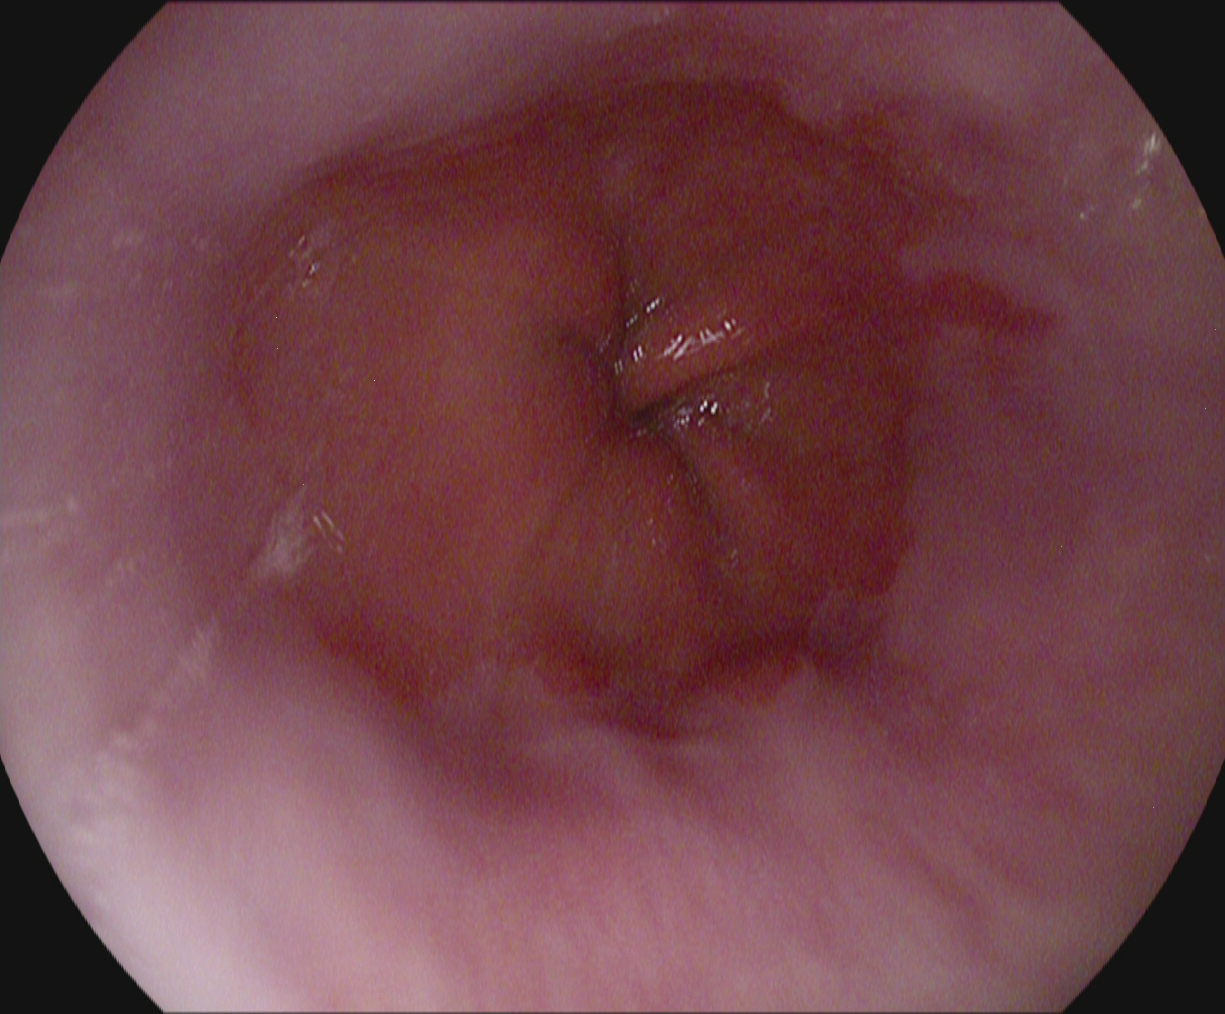reflux esophagitis, Los Angeles grade A.